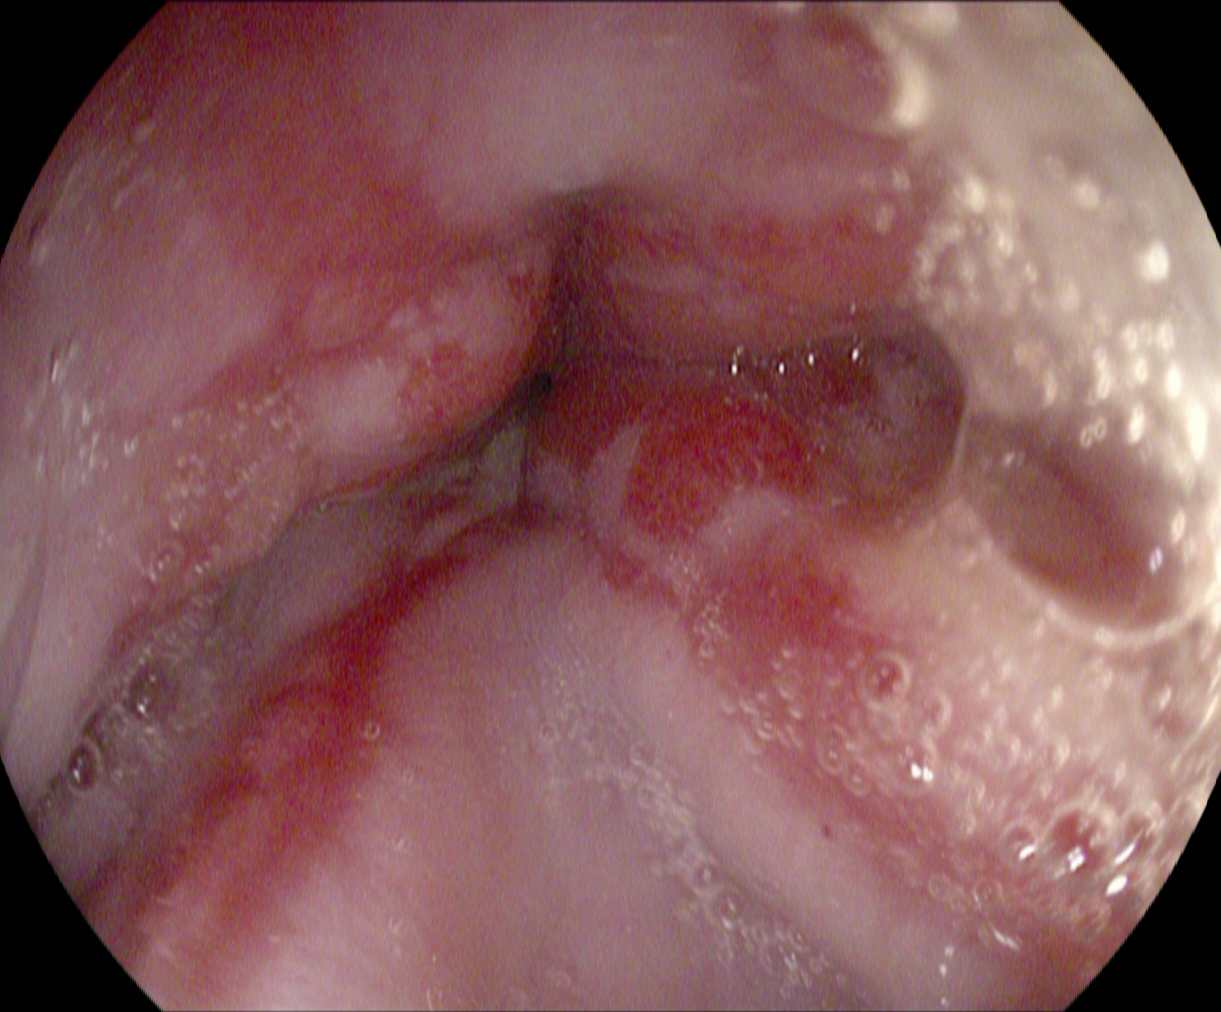{"modality": "EGD", "tract": "upper GI tract", "finding": "reflux esophagitis, Los Angeles grade B\u2013D"}